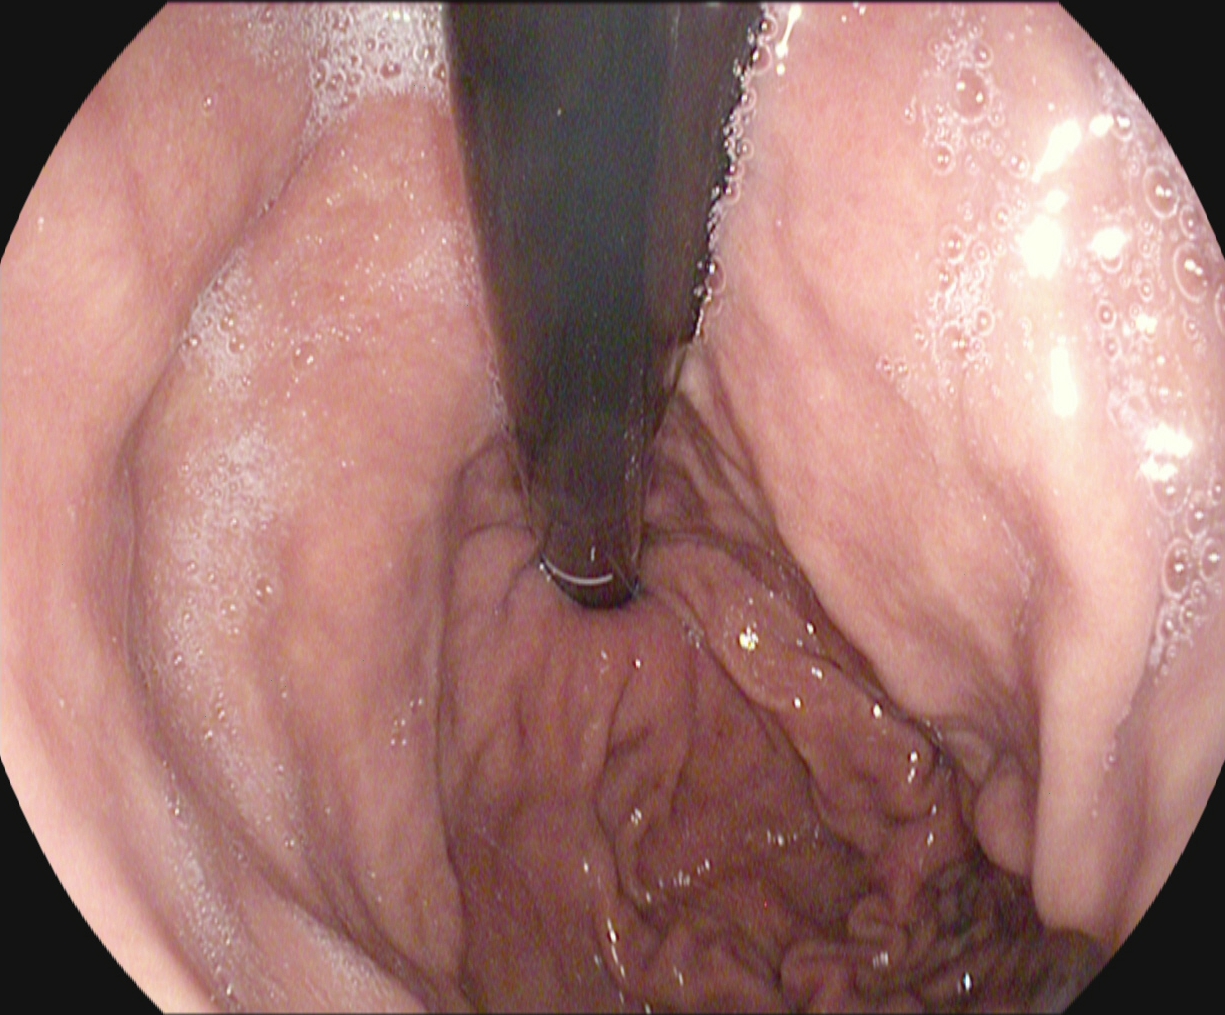This endoscopic image of the upper GI tract shows stomach in retroflexion.